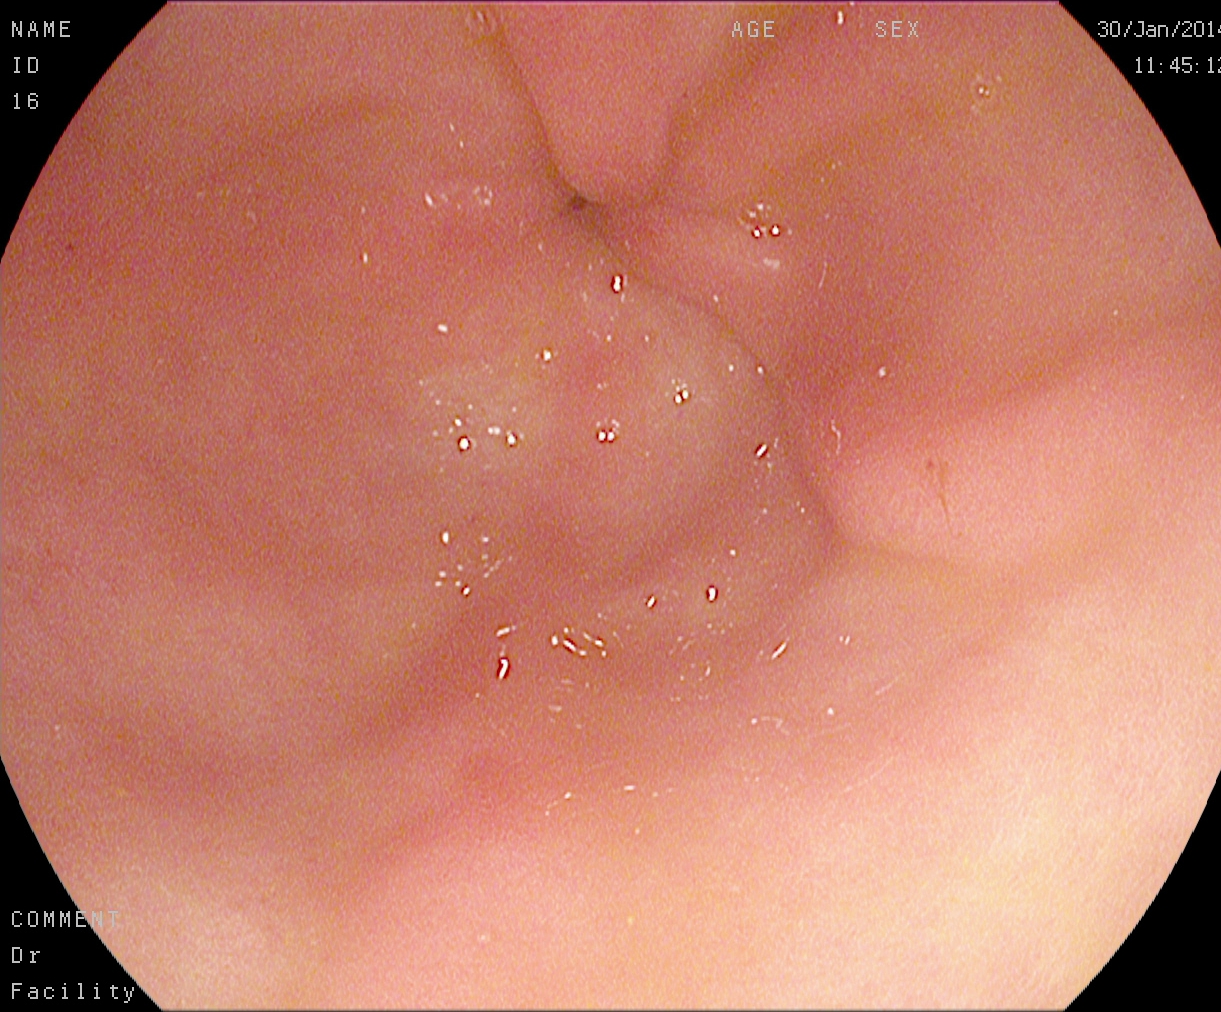Upper-GI endoscopy image of the upper GI tract showing pylorus.